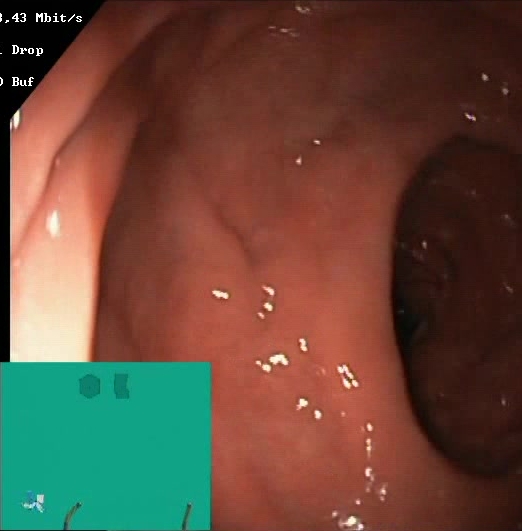PROCEDURE: Lower-GI endoscopy.
FINDINGS: Boston Bowel Preparation Scale score 2–3 (adequate preparation).